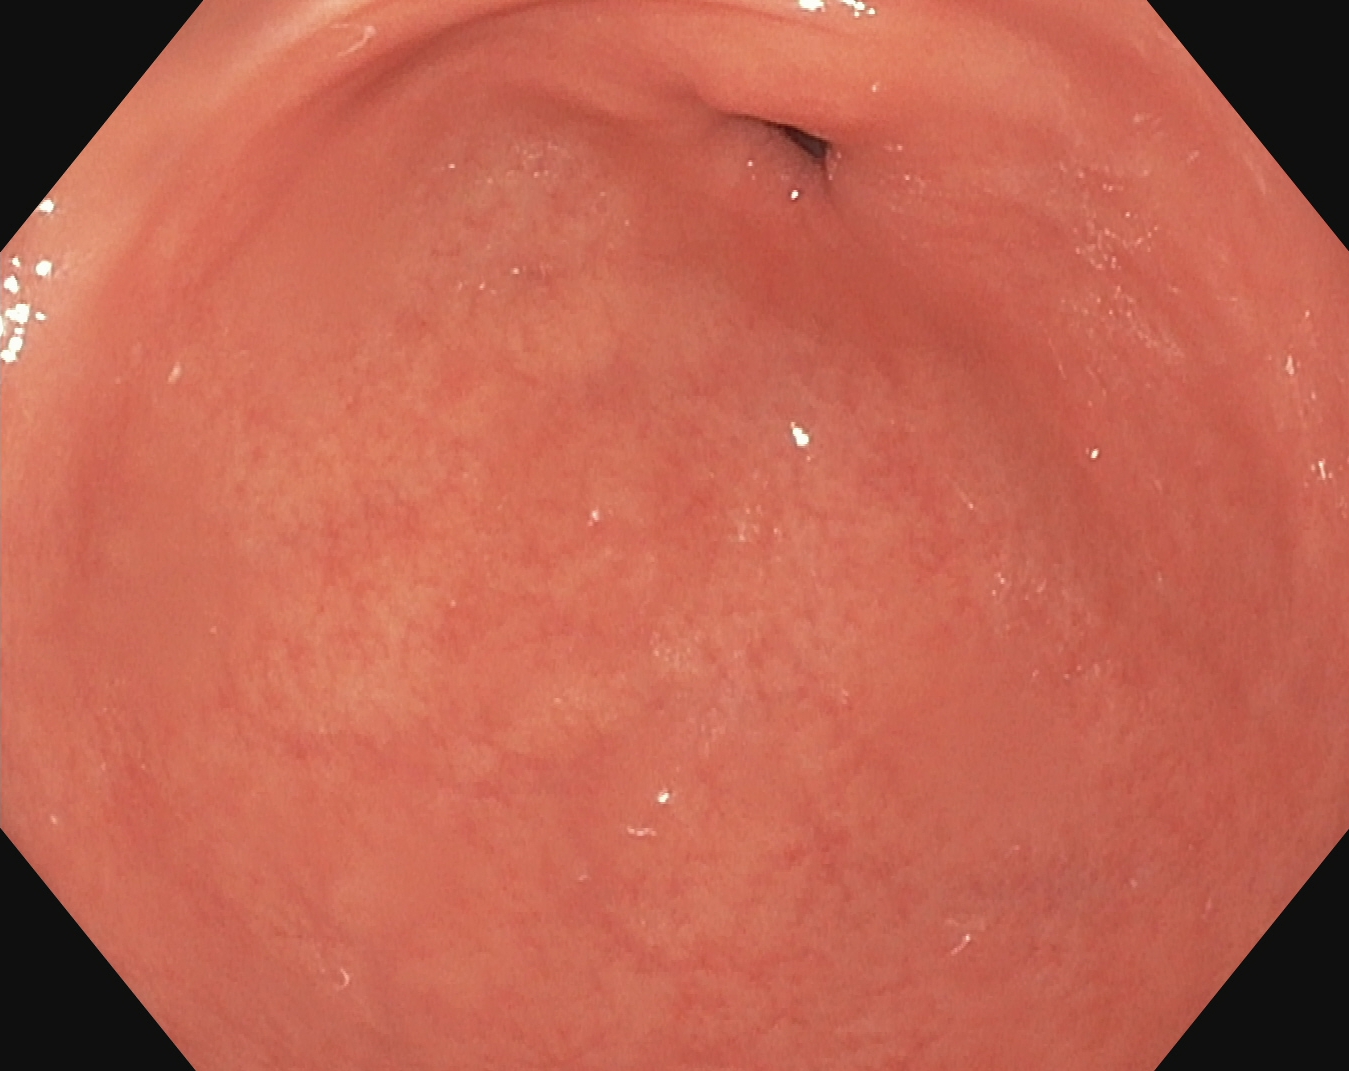EGD — pylorus.